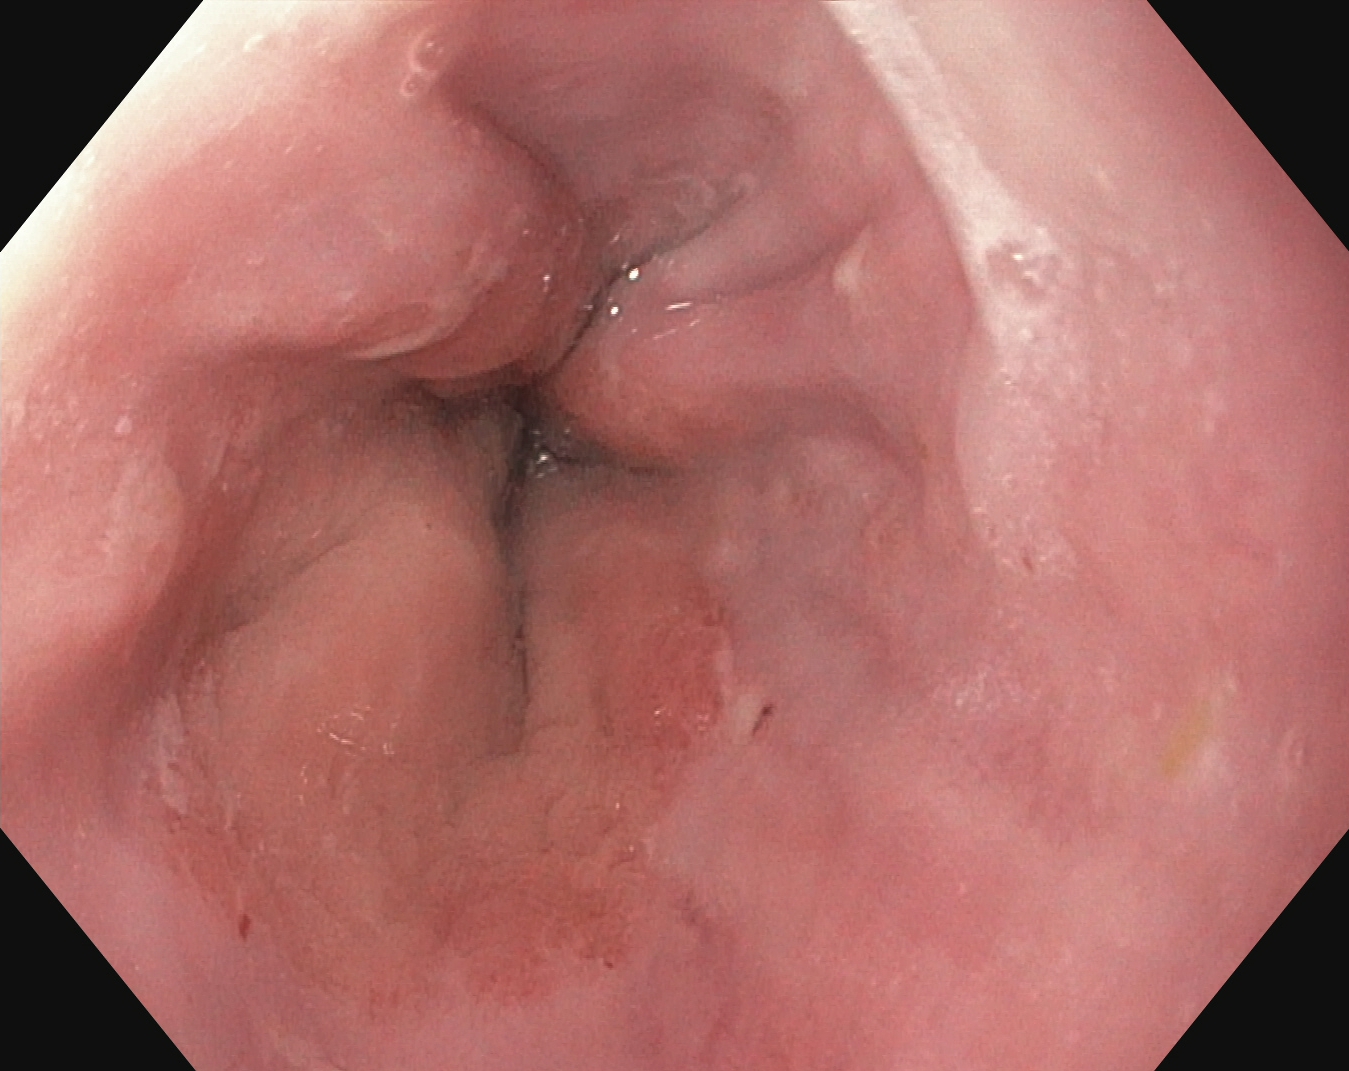Upper-GI endoscopy. Tract: upper GI tract. Pathological finding. Finding: reflux esophagitis, Los Angeles grade A.